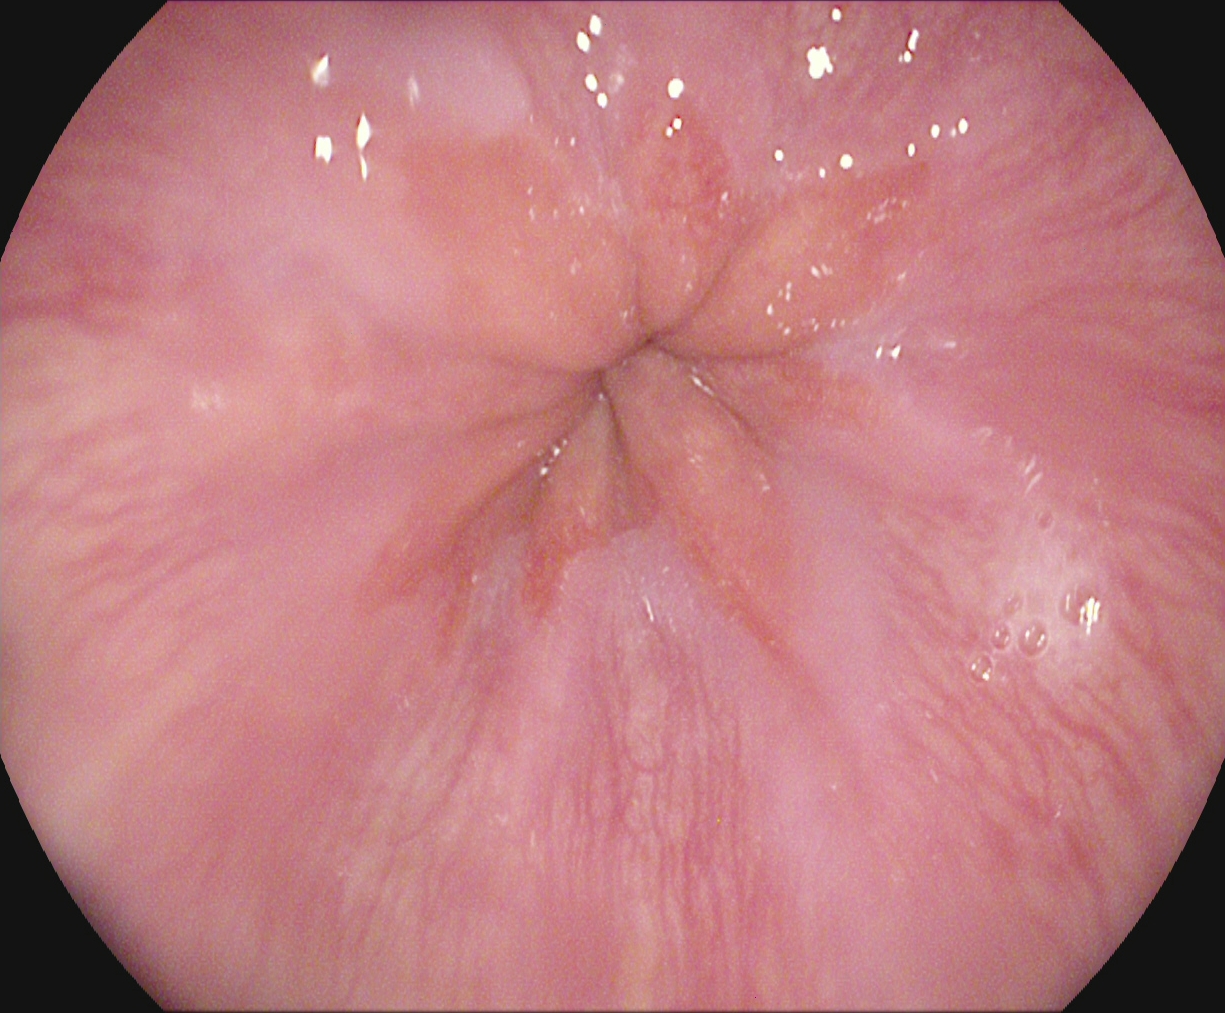This endoscopic image shows Z-line (gastroesophageal junction).